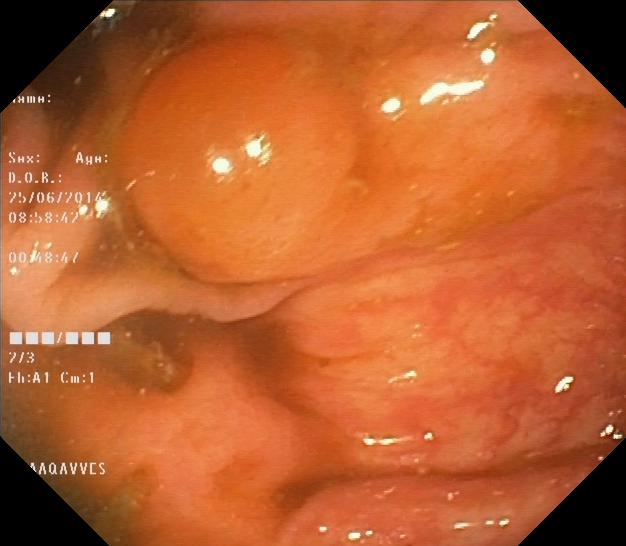PROCEDURE: Lower-GI endoscopy.
FINDINGS: Colorectal polyp(s).